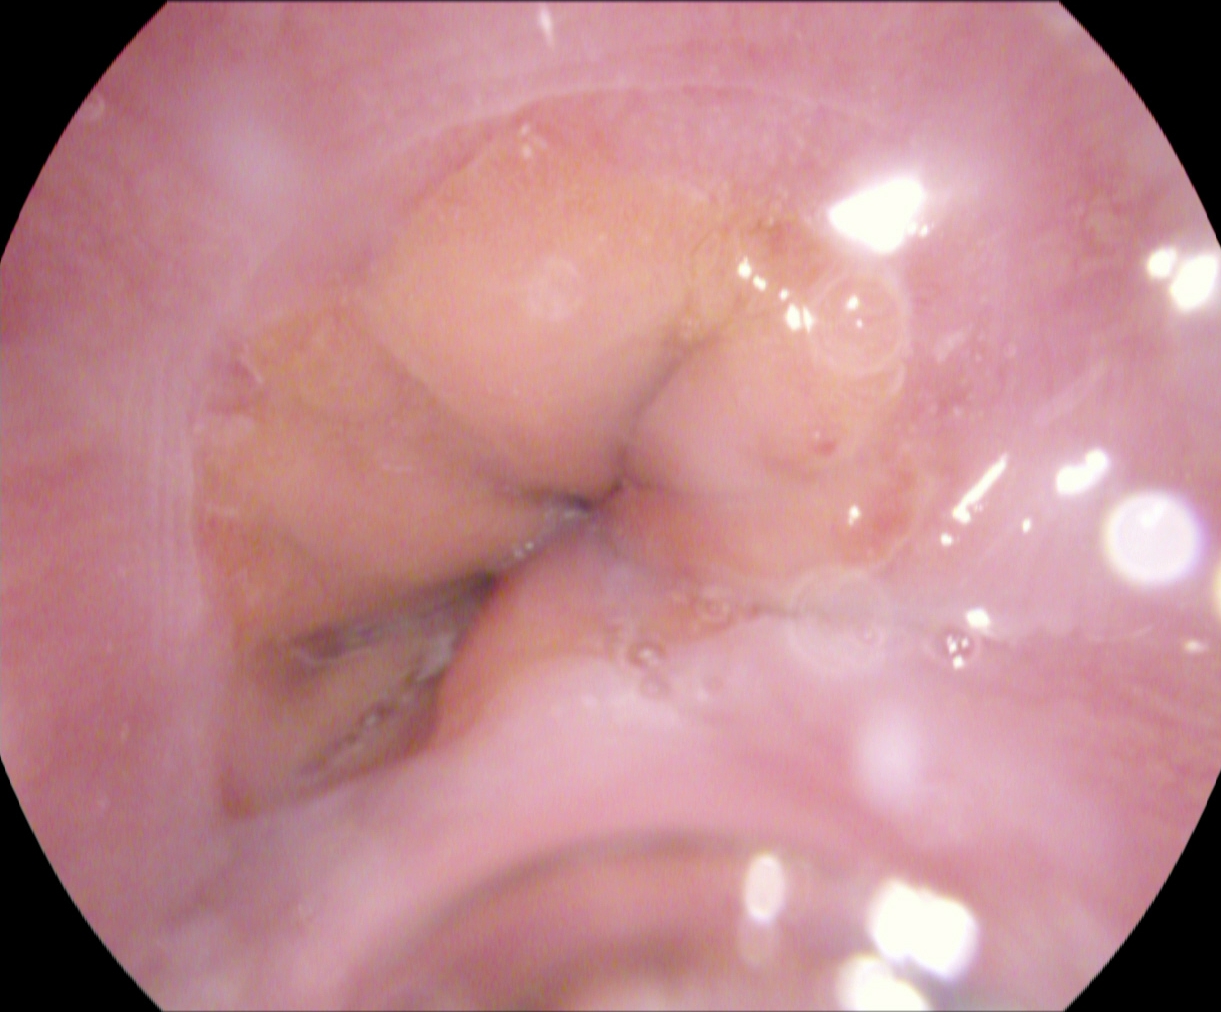{"modality": "EGD", "category": "anatomical landmark", "finding": "Z-line (gastroesophageal junction)"}